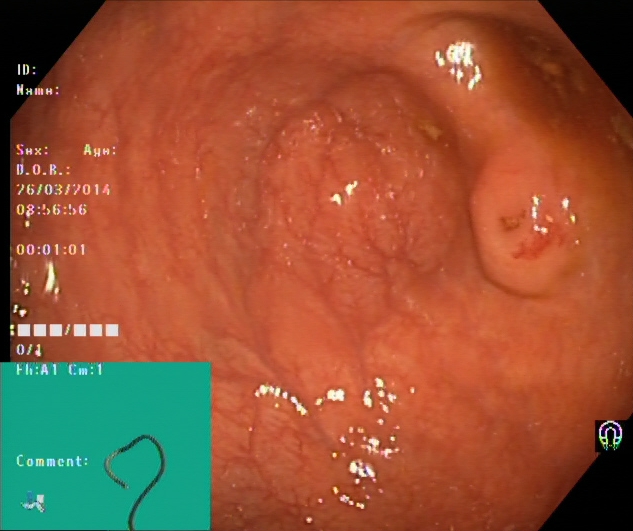modality: lower-GI endoscopy
category: anatomical landmark
finding: cecum